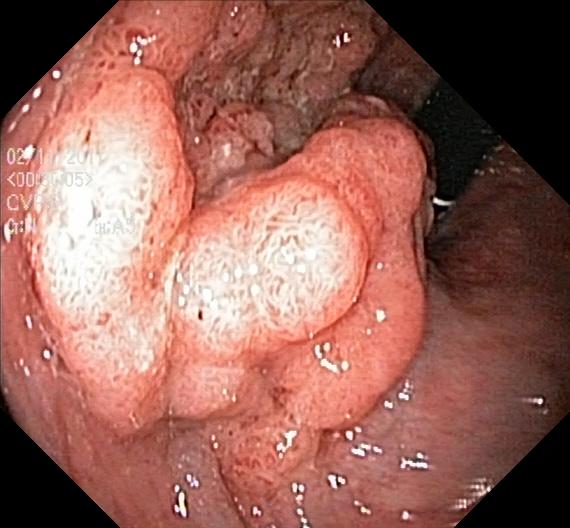This endoscopy frame of the lower GI tract shows colorectal polyp(s).